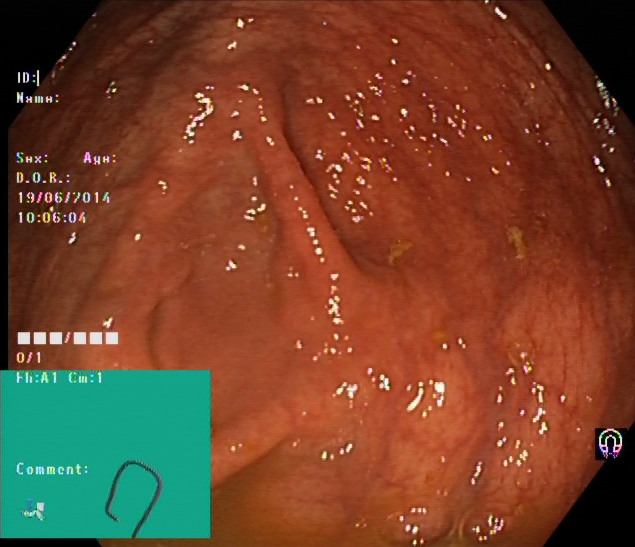{"modality": "colonoscopy", "tract": "lower GI tract", "finding": "cecum"}